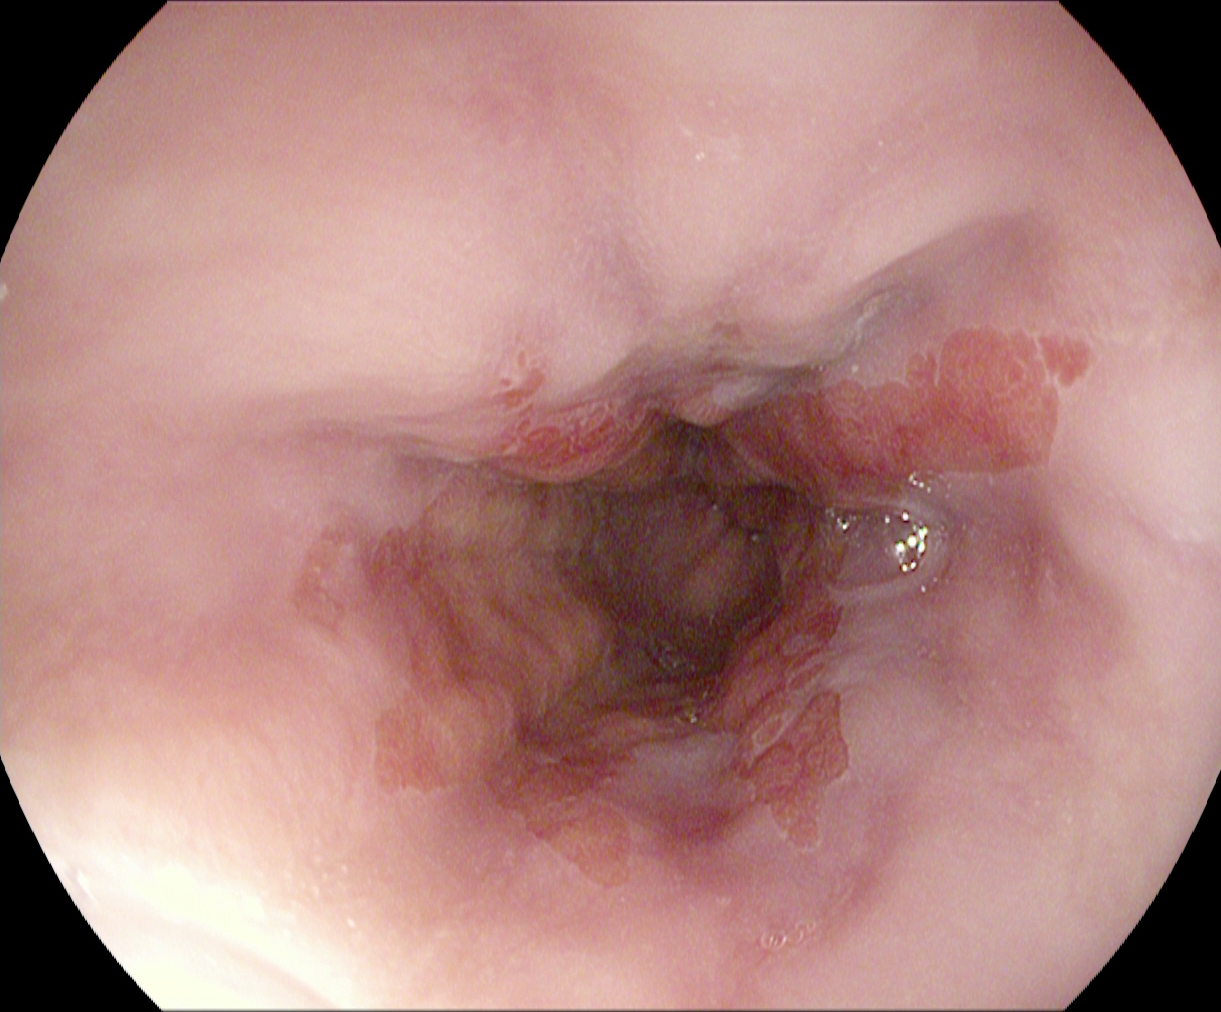Endoscopy image of the upper GI tract showing reflux esophagitis, Los Angeles grade B–D.